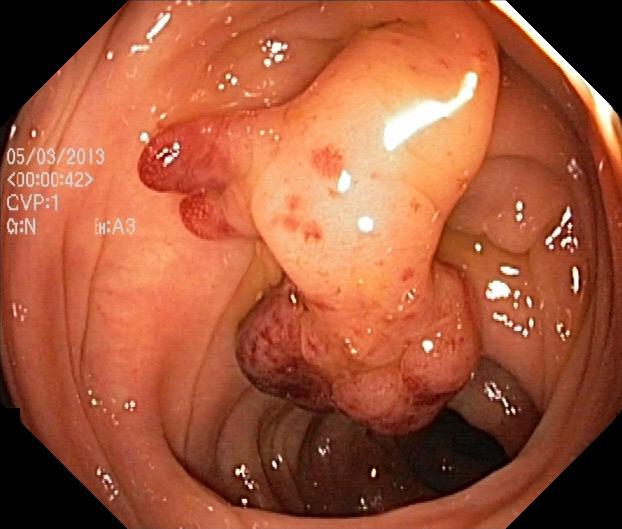Colorectal polyp(s).